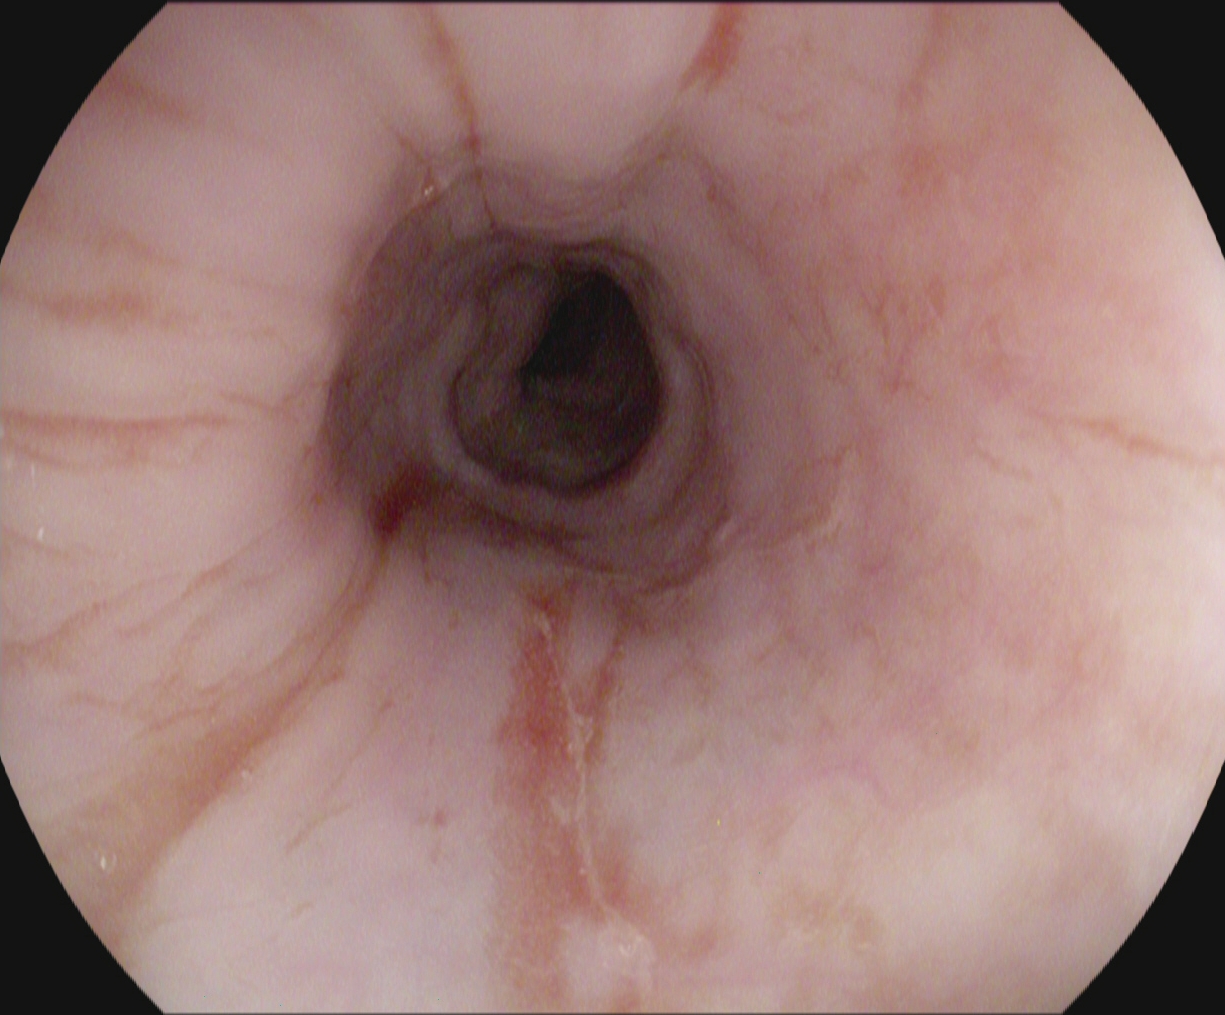PROCEDURE: EGD.
CATEGORY: Pathological finding.
FINDINGS: Reflux esophagitis, Los Angeles grade B–D.